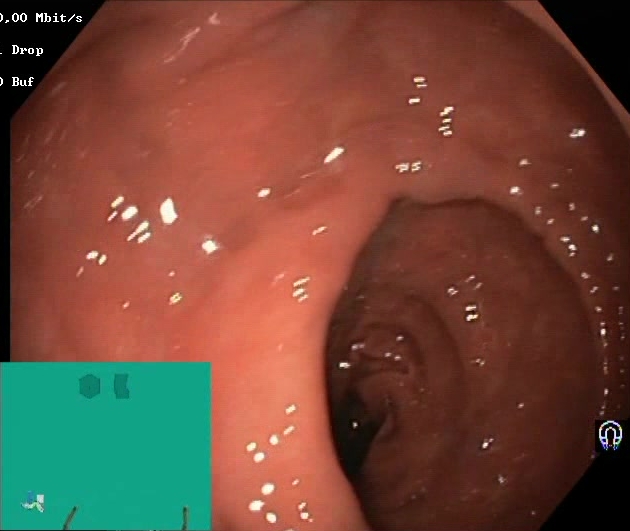{"modality": "colonoscopy", "finding": "BBPS score 2\u20133 (adequate preparation)"}